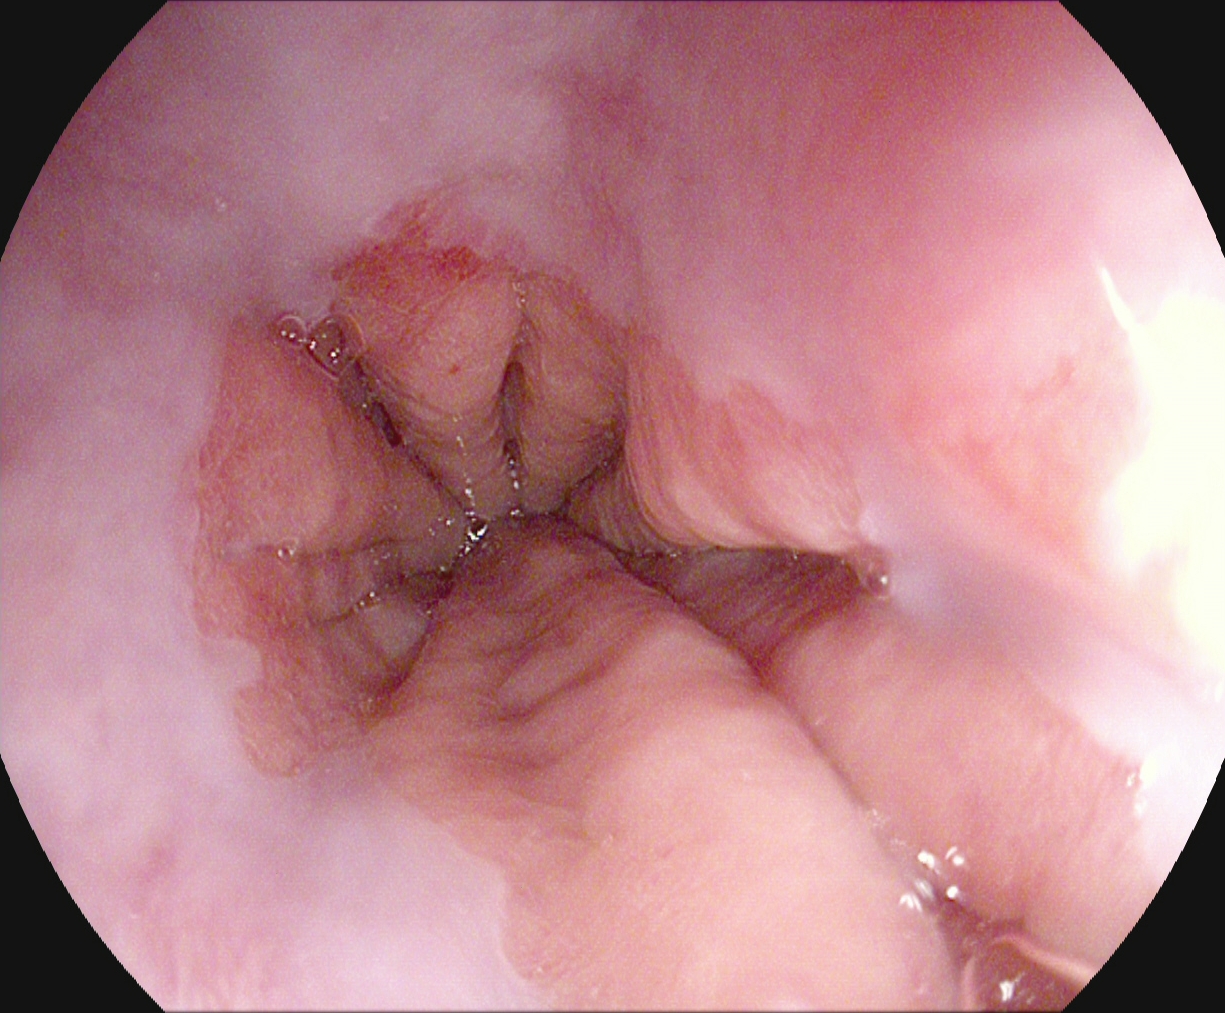modality: esophagogastroduodenoscopy
tract: upper GI tract
category: pathological finding
finding: reflux esophagitis, Los Angeles grade A